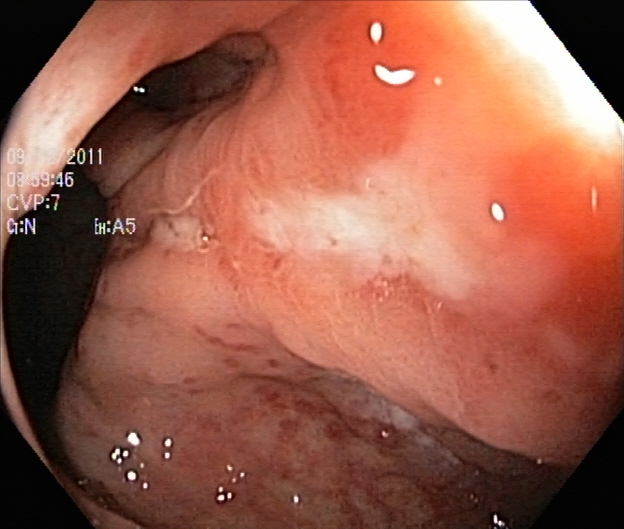{"modality": "lower-GI endoscopy", "finding": "ulcerative colitis, Mayo endoscopic subscore 2"}